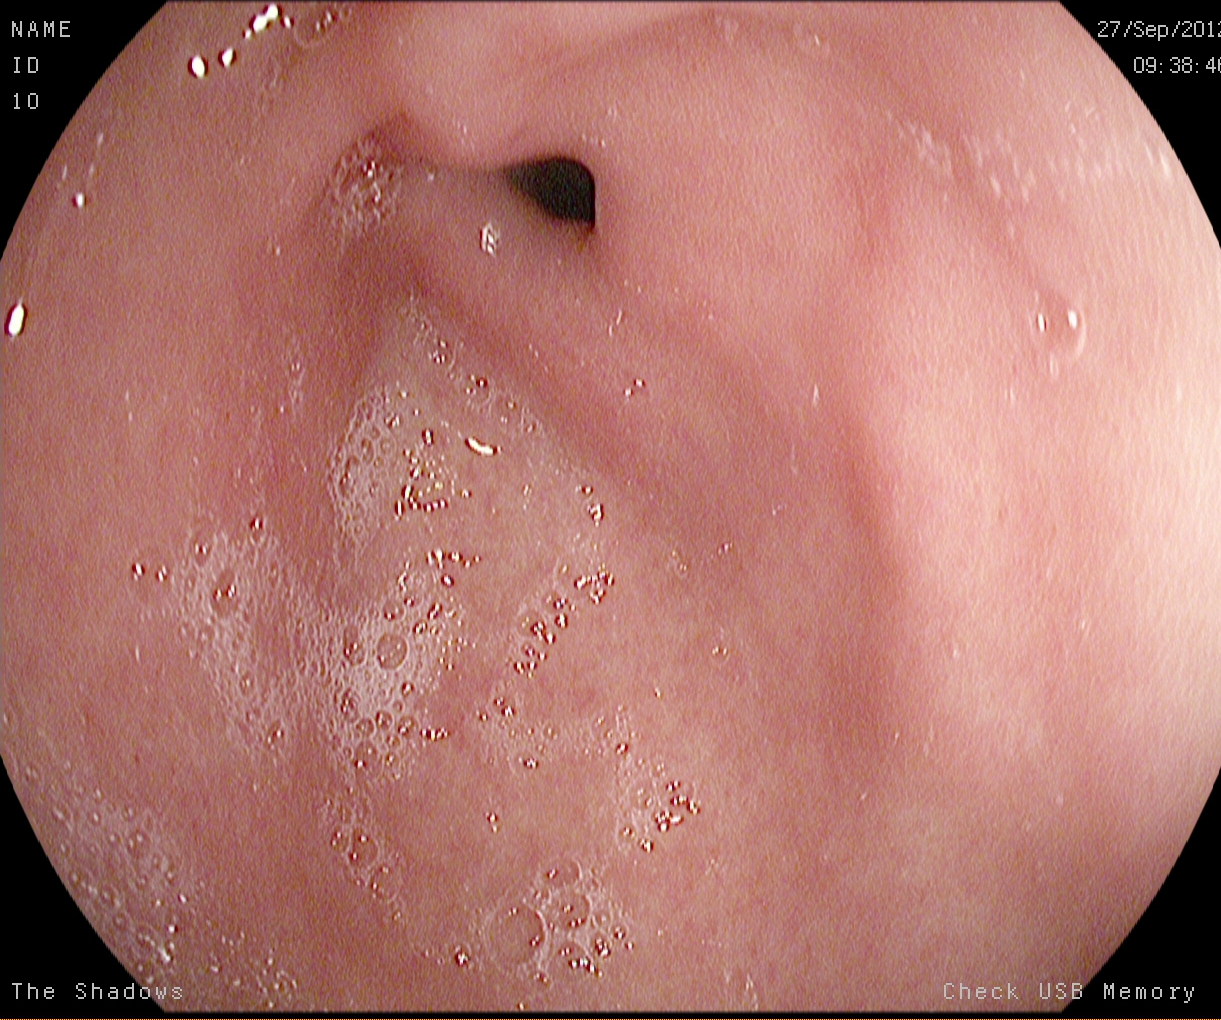modality: gastroscopy
tract: upper GI tract
finding: pylorus